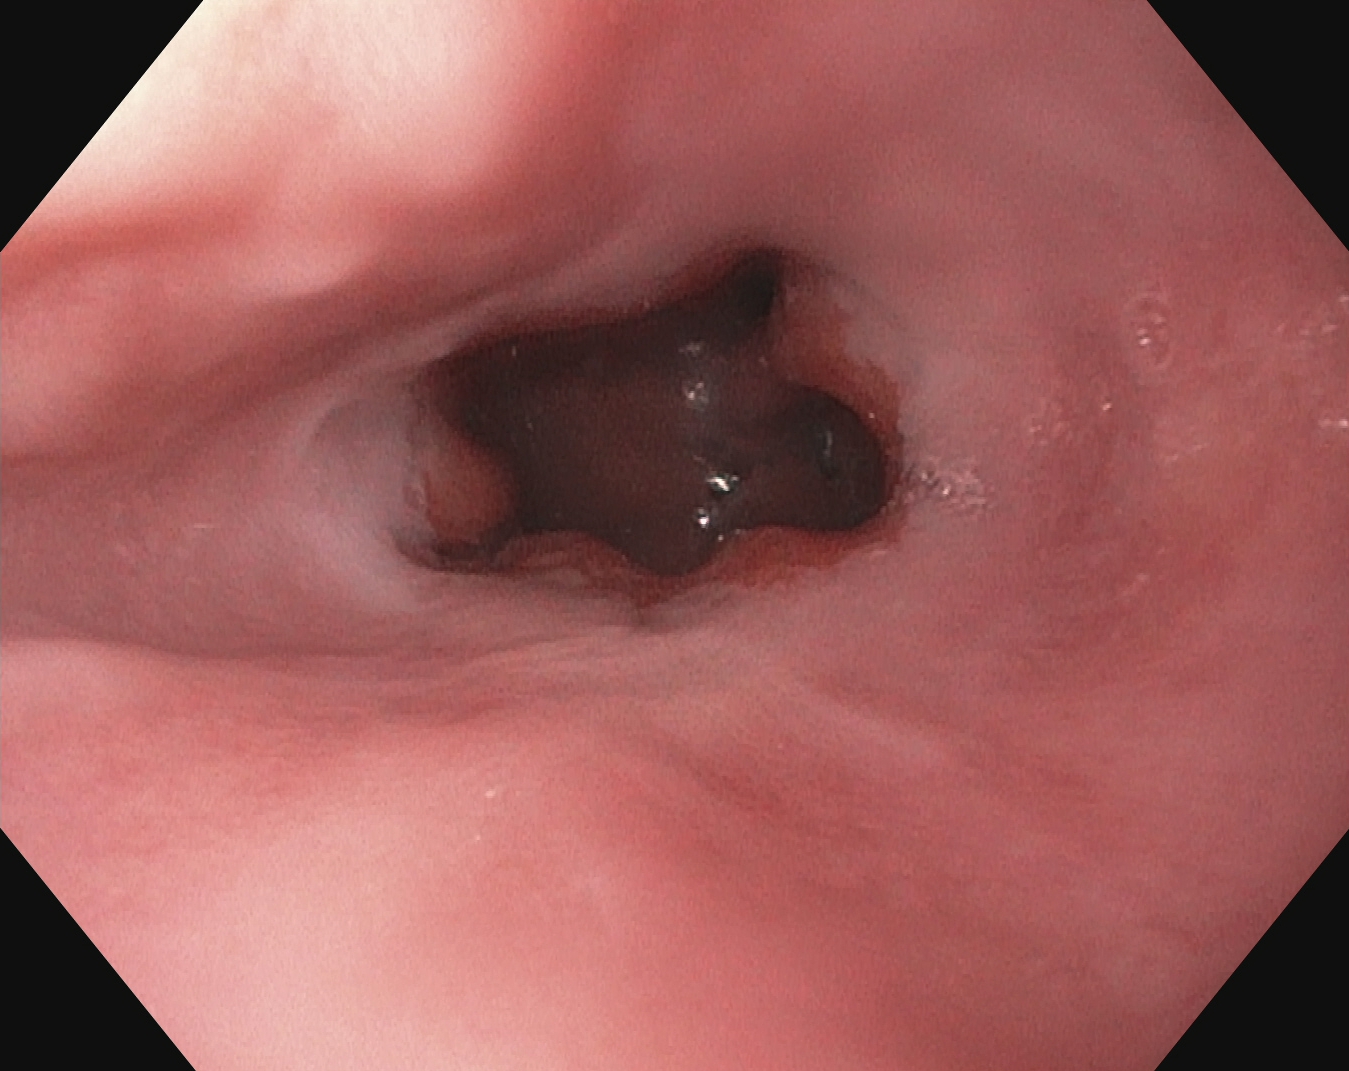Gastroscopy image showing Z-line (gastroesophageal junction).